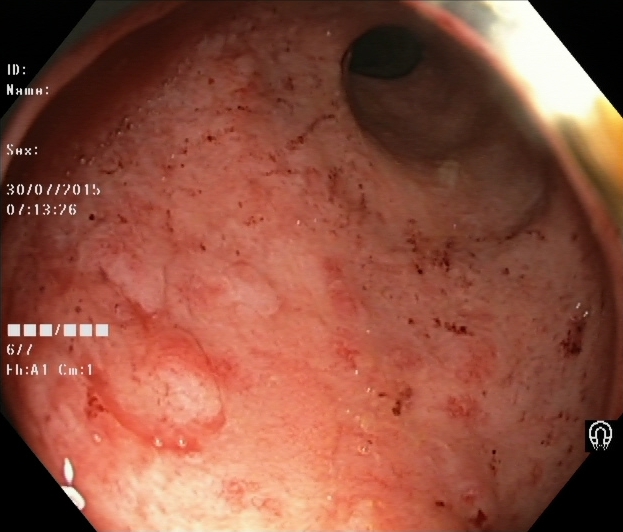This endoscopy frame of the lower GI tract shows ulcerative colitis, Mayo endoscopic subscore 2.